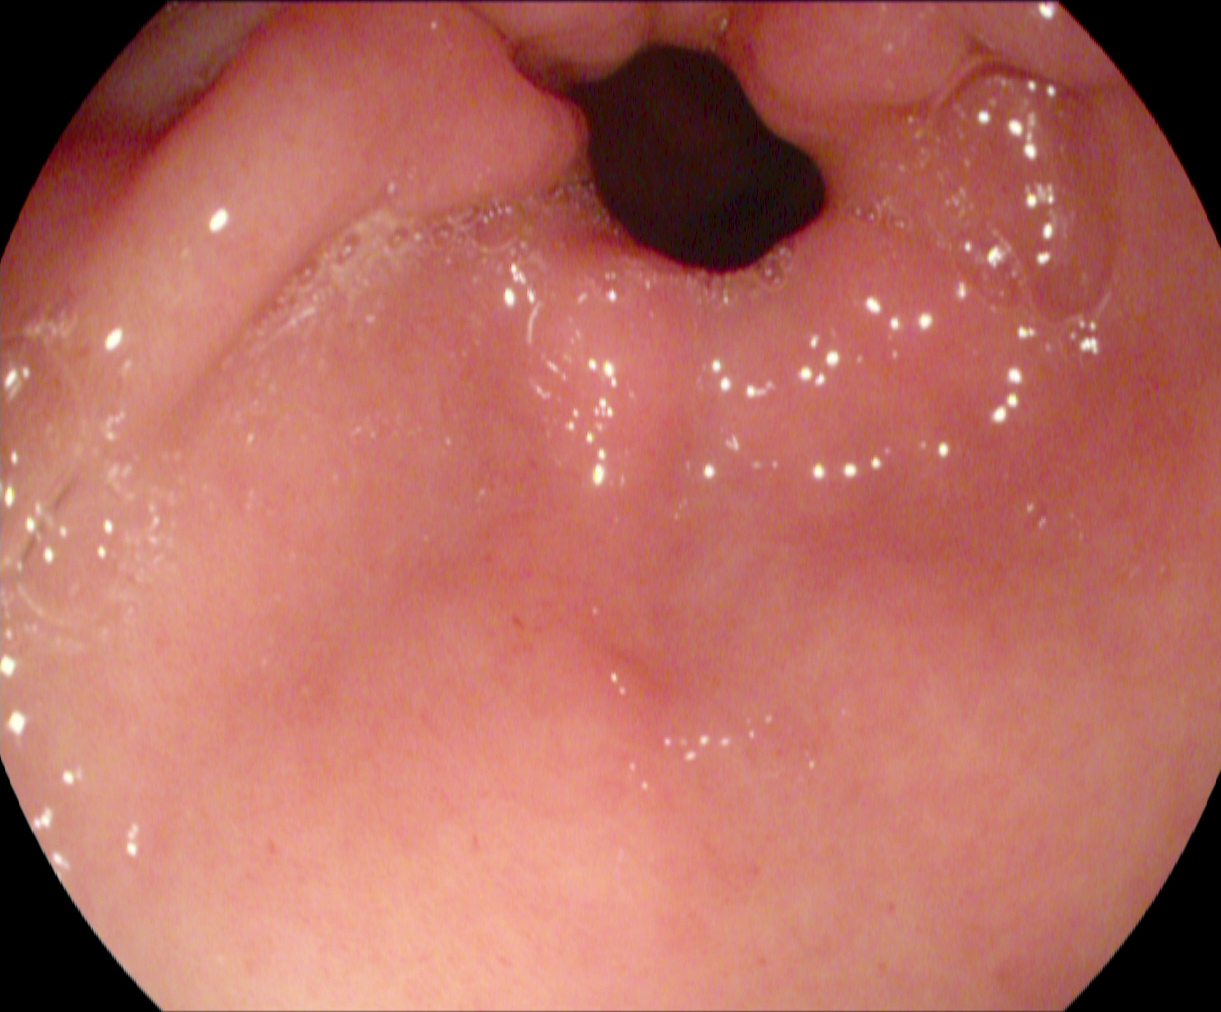{"modality": "esophagogastroduodenoscopy", "category": "anatomical landmark", "finding": "pylorus"}